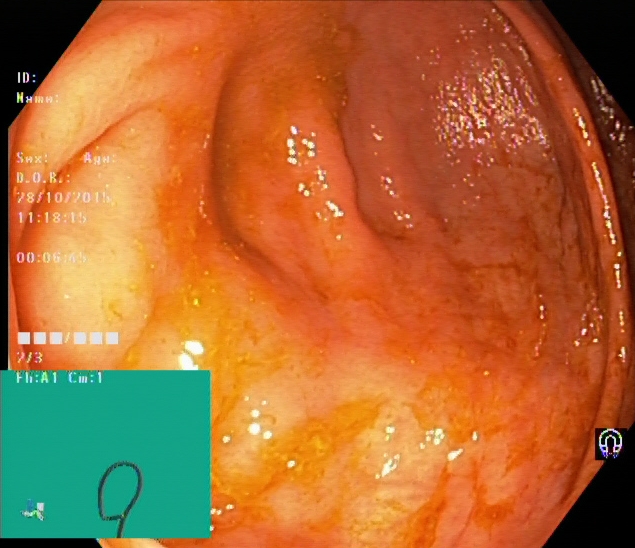Lower-GI endoscopy — cecum.